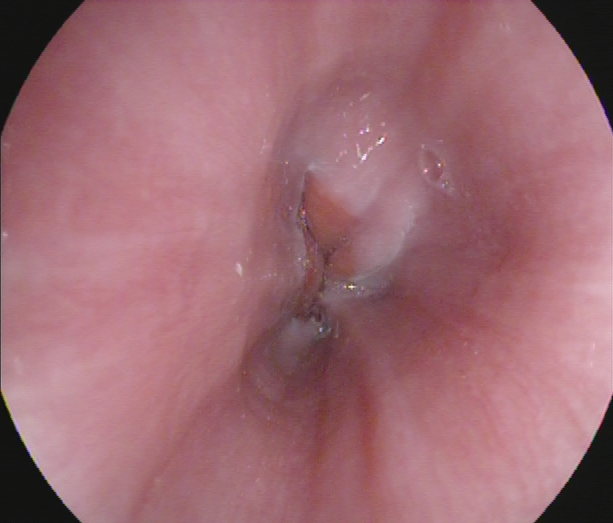Endoscopy image of the upper GI tract showing Z-line (gastroesophageal junction).